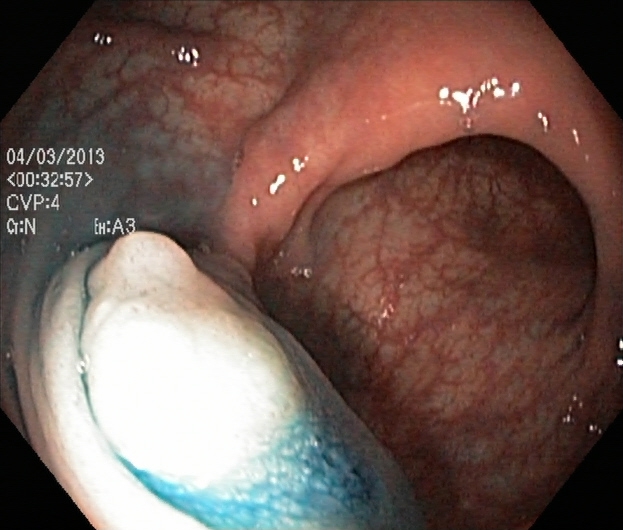PROCEDURE: Lower gastrointestinal endoscopy.
FINDINGS: Dyed and lifted polyp (pre-resection).